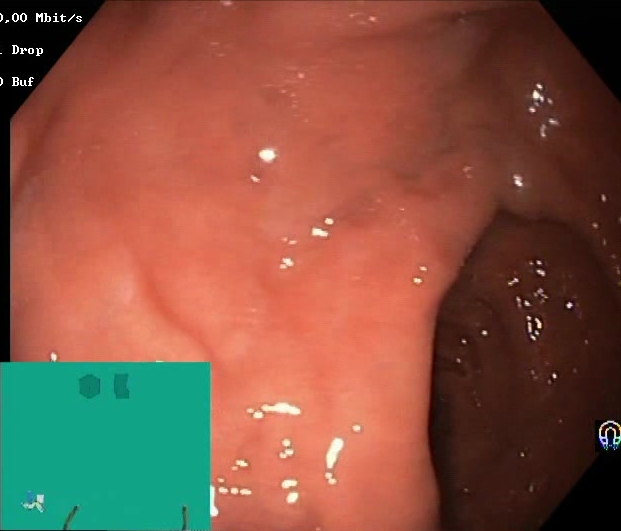{"modality": "lower-GI endoscopy", "finding": "Boston Bowel Preparation Scale score 2\u20133 (adequate preparation)"}